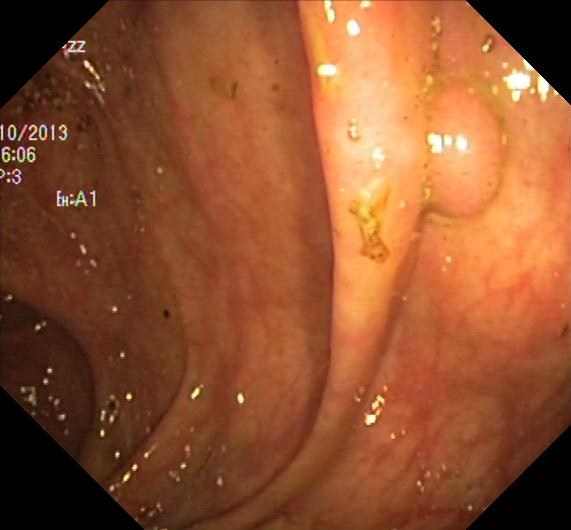modality: colonoscopy; tract: lower GI tract; finding: colorectal polyp(s)